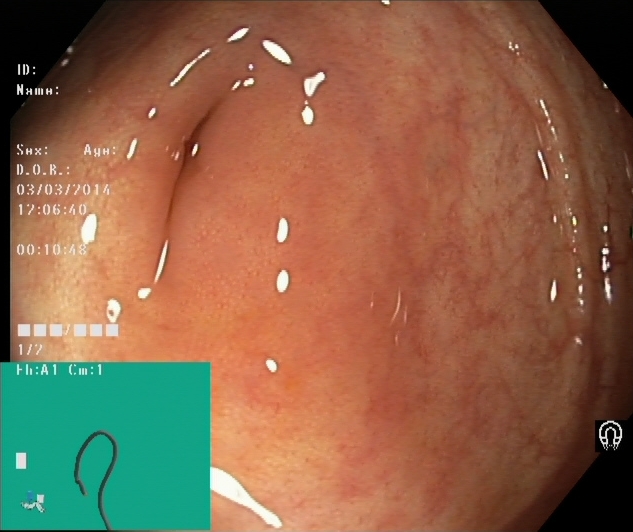Colonoscopy. Finding: cecum.